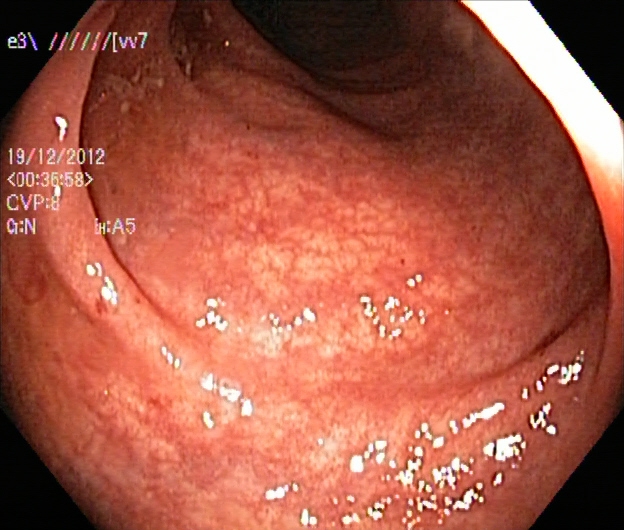{"modality": "colonoscopy", "tract": "lower GI tract", "finding": "ulcerative colitis, Mayo endoscopic subscore 0\u20131"}